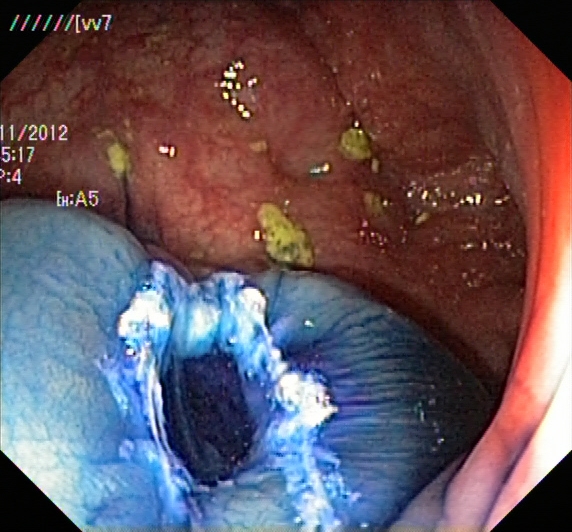GI endoscopy image of the lower GI tract showing dyed resection margins (post-polypectomy).